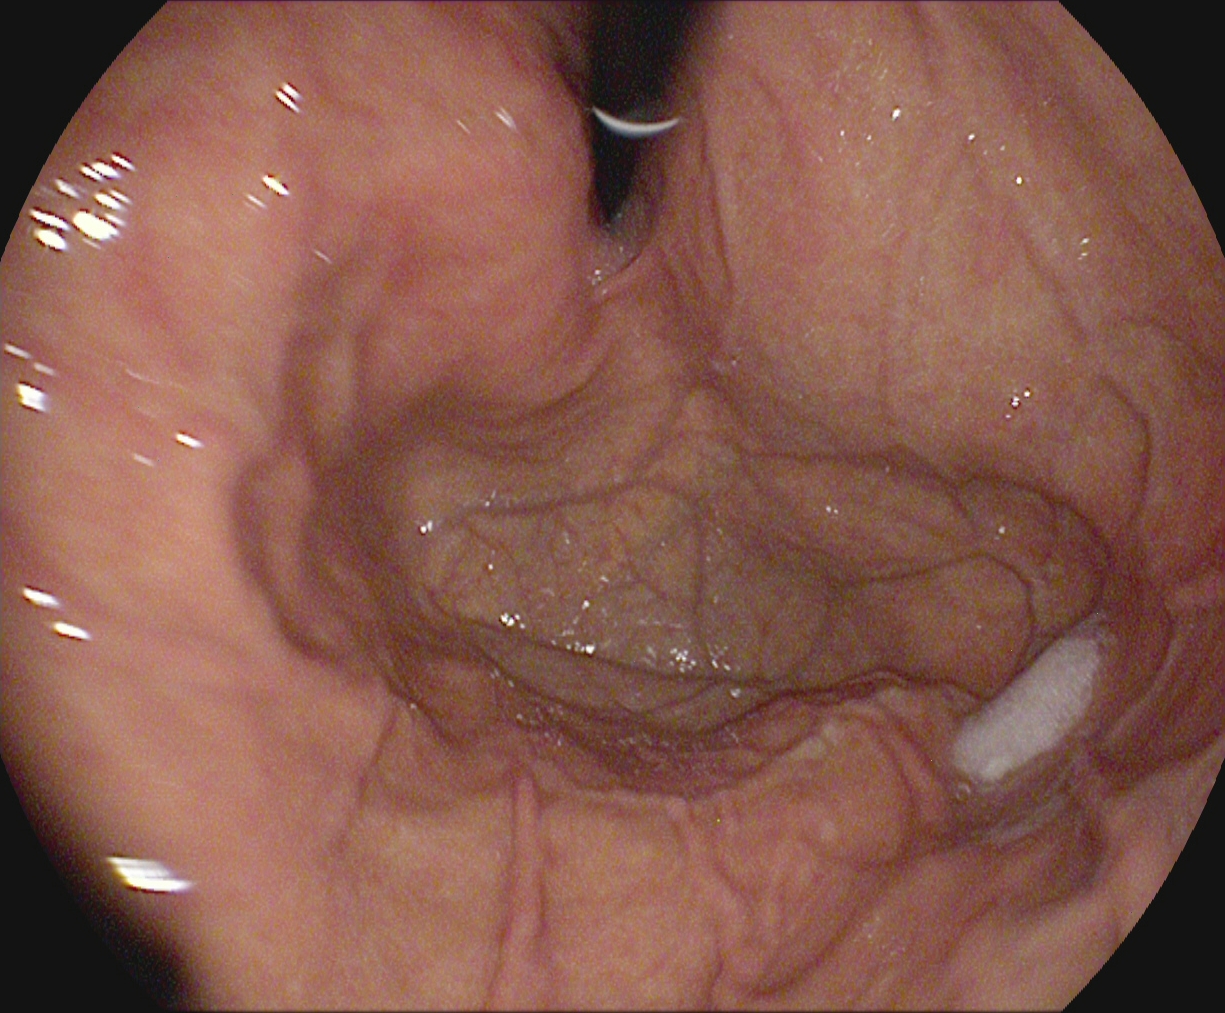stomach in retroflexion.